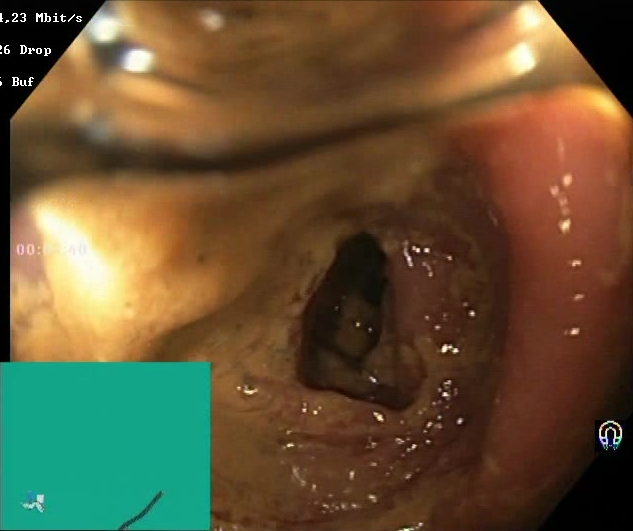PROCEDURE: Colonoscopy.
FINDINGS: Boston Bowel Preparation Scale score 0–1 (inadequate preparation).